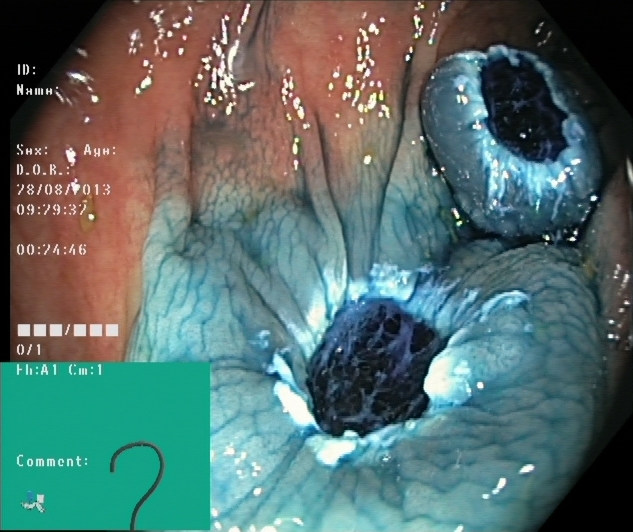Dyed resection margins (post-polypectomy).